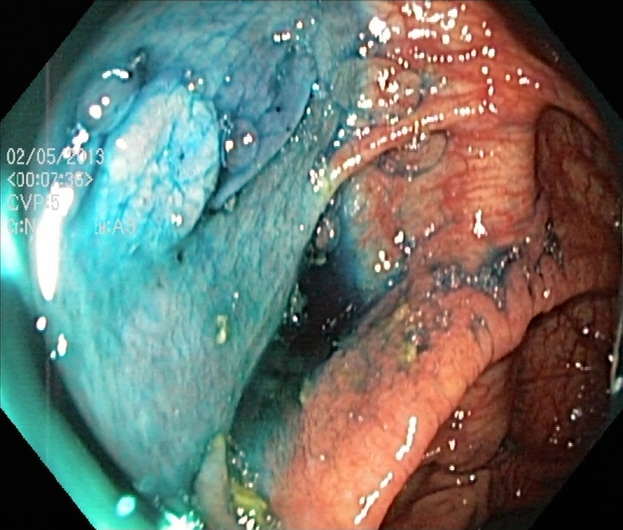{"modality": "colonoscopy", "tract": "lower GI tract", "category": "therapeutic intervention", "finding": "dyed and lifted polyp (pre-resection)"}